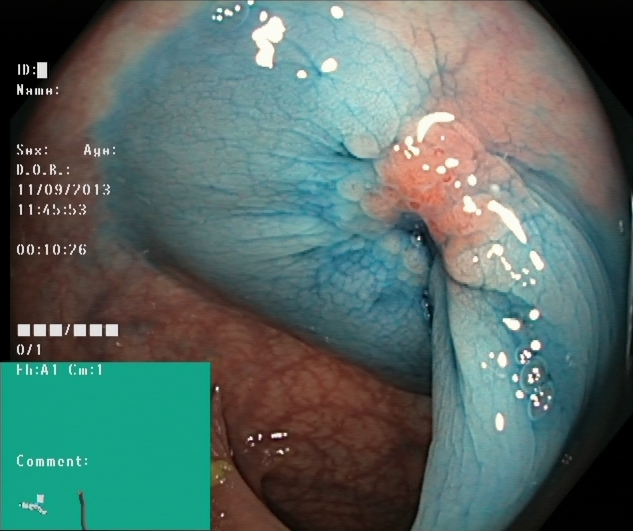Lower gastrointestinal endoscopy. Tract: lower GI tract. Finding: dyed and lifted polyp (pre-resection).